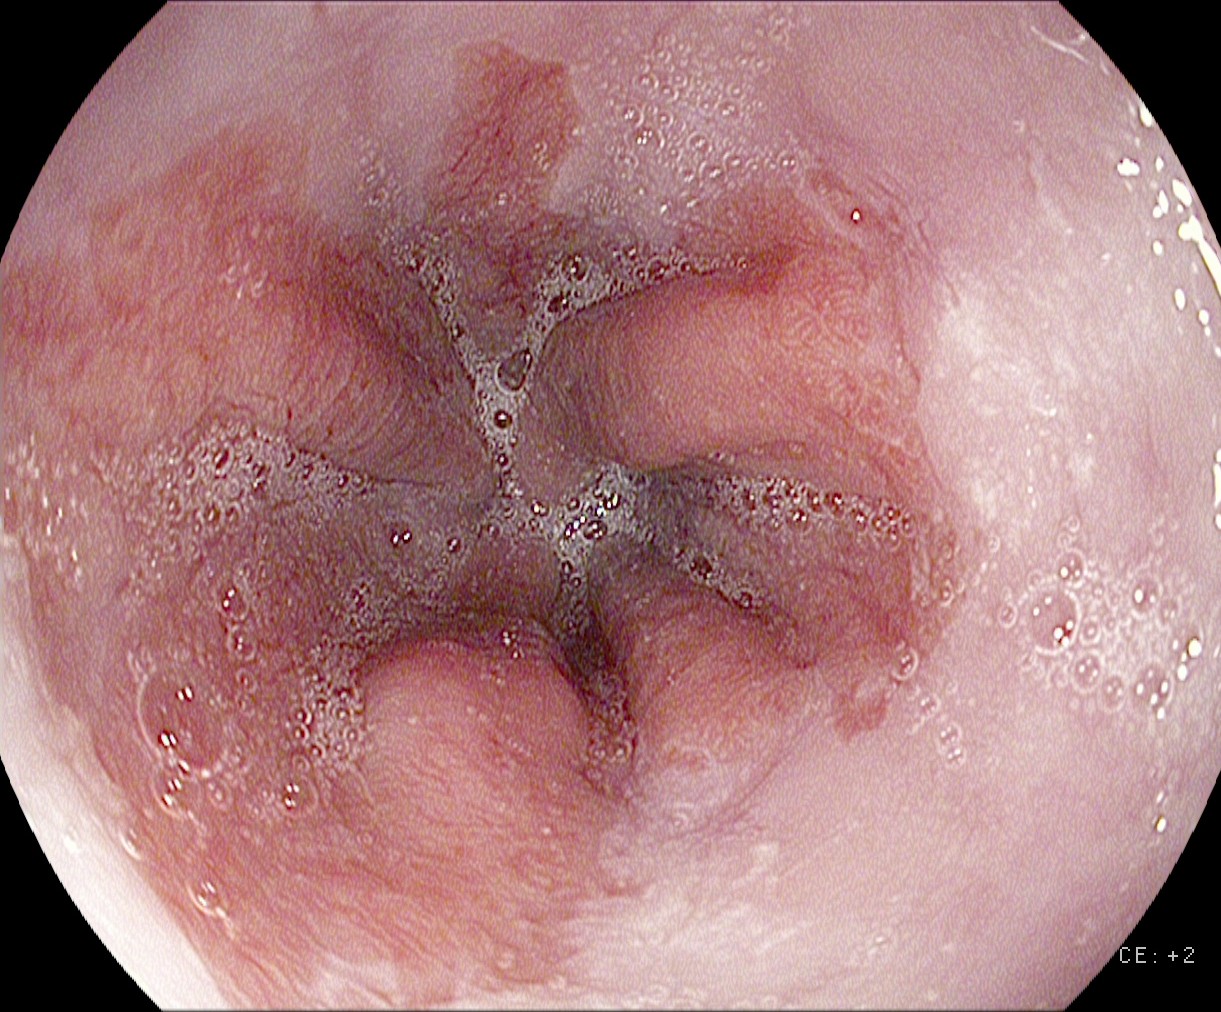Barrett's esophagus, short segment.